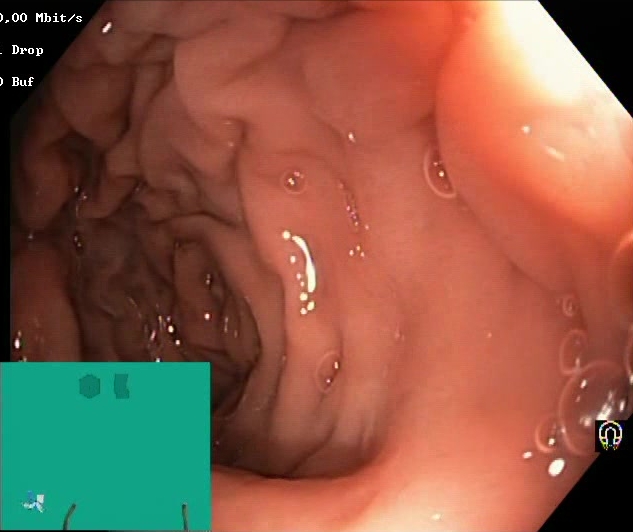Boston Bowel Preparation Scale score 2–3 (adequate preparation).